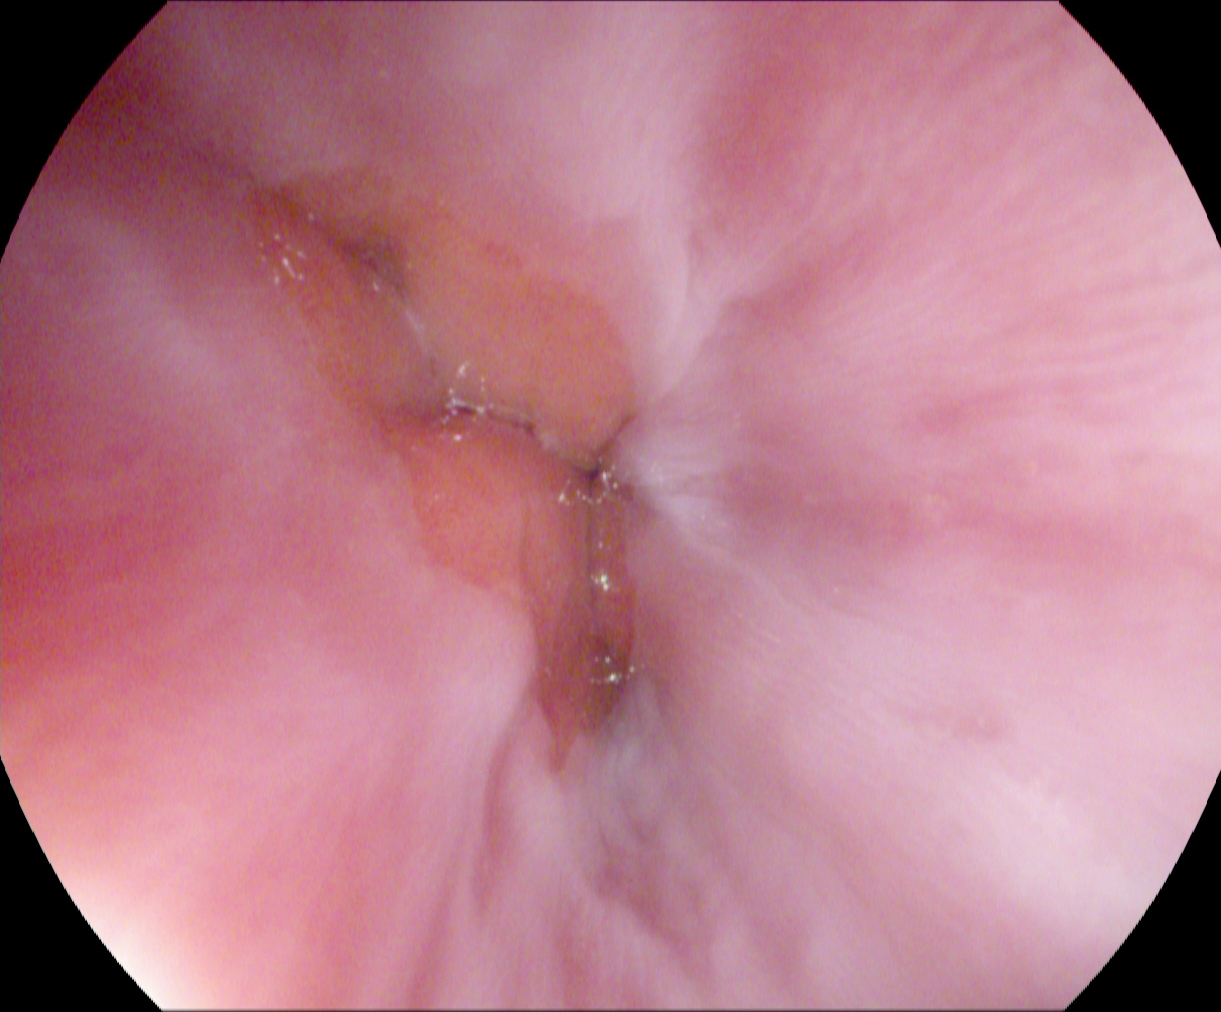modality: gastroscopy
tract: upper GI tract
category: anatomical landmark
finding: Z-line (gastroesophageal junction)